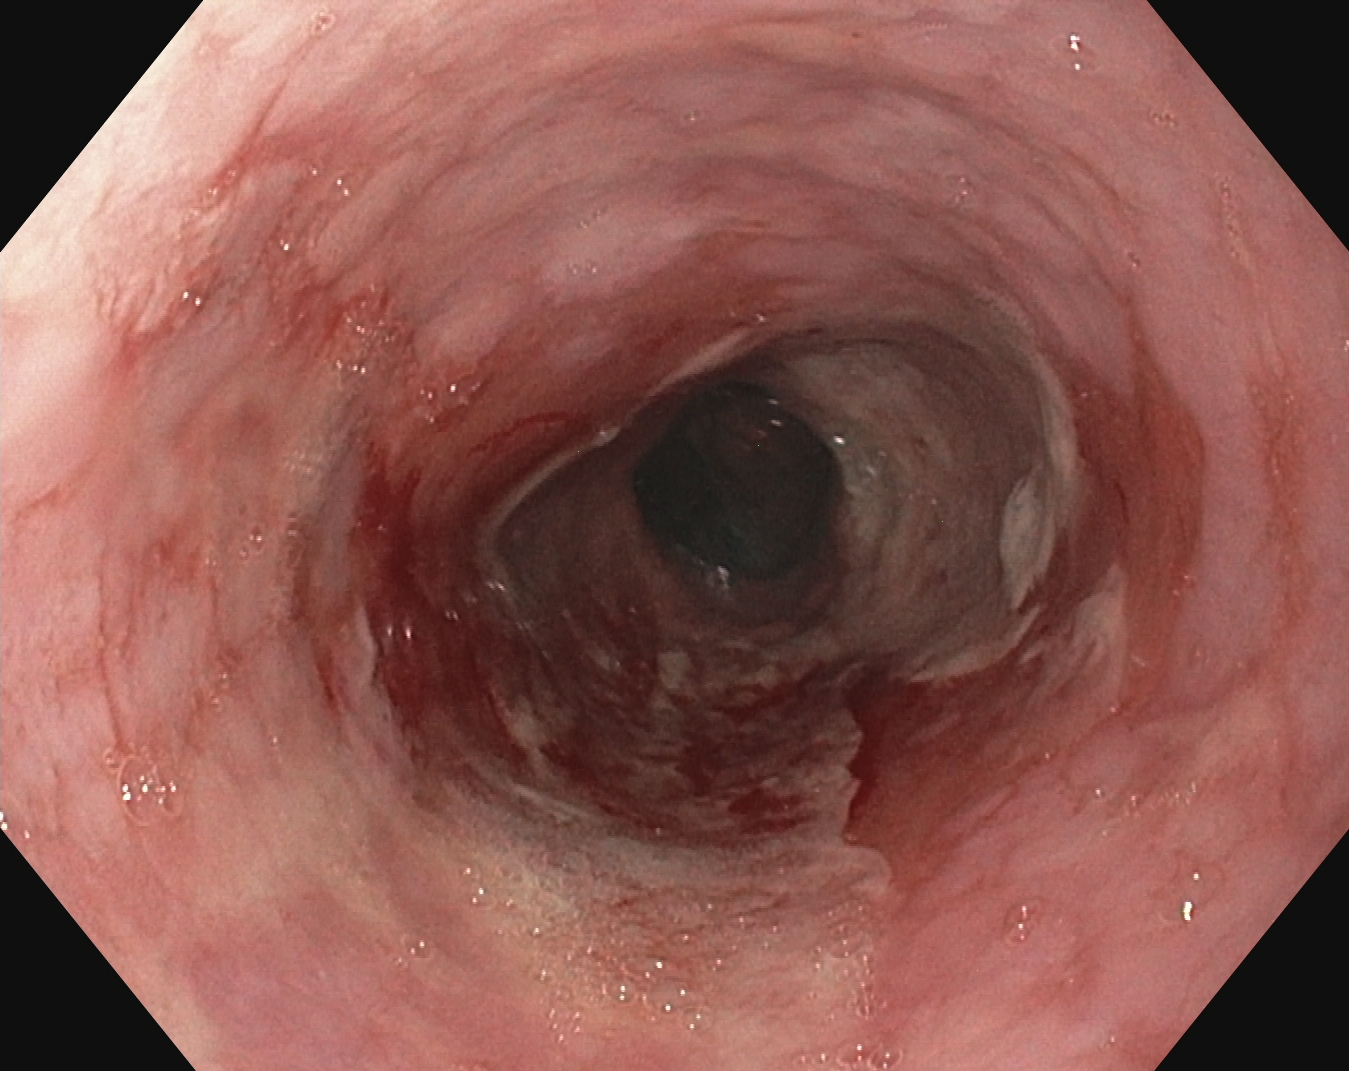EGD. Pathological finding. Finding: reflux esophagitis, LA grade B–D.